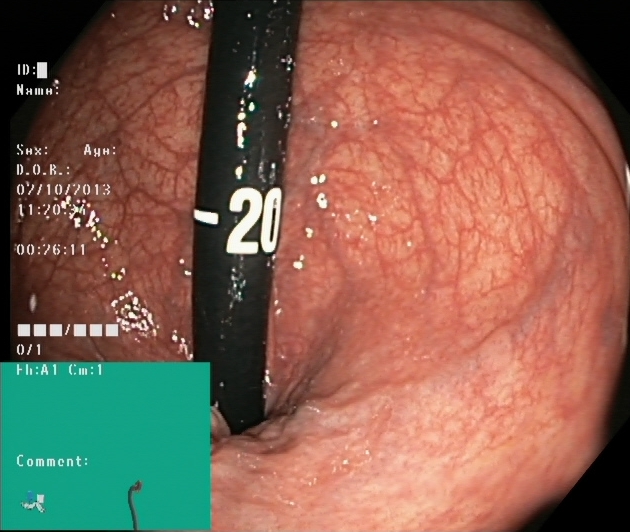modality: colonoscopy; tract: lower GI tract; category: anatomical landmark; finding: rectum in retroflexion